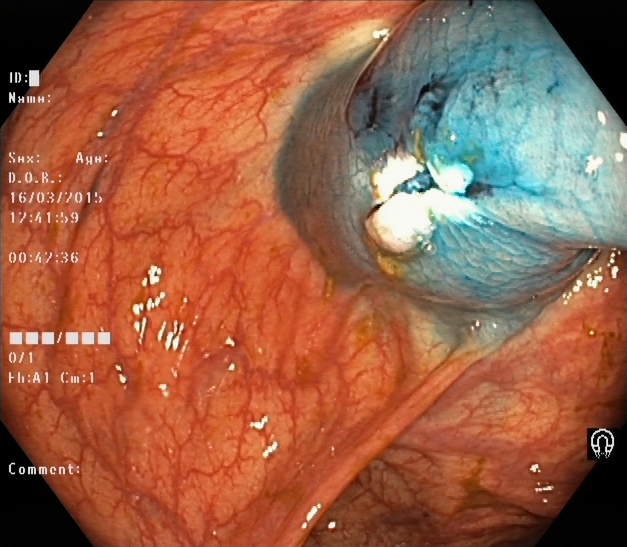This endoscopy frame of the lower GI tract shows dyed resection margins (post-polypectomy).